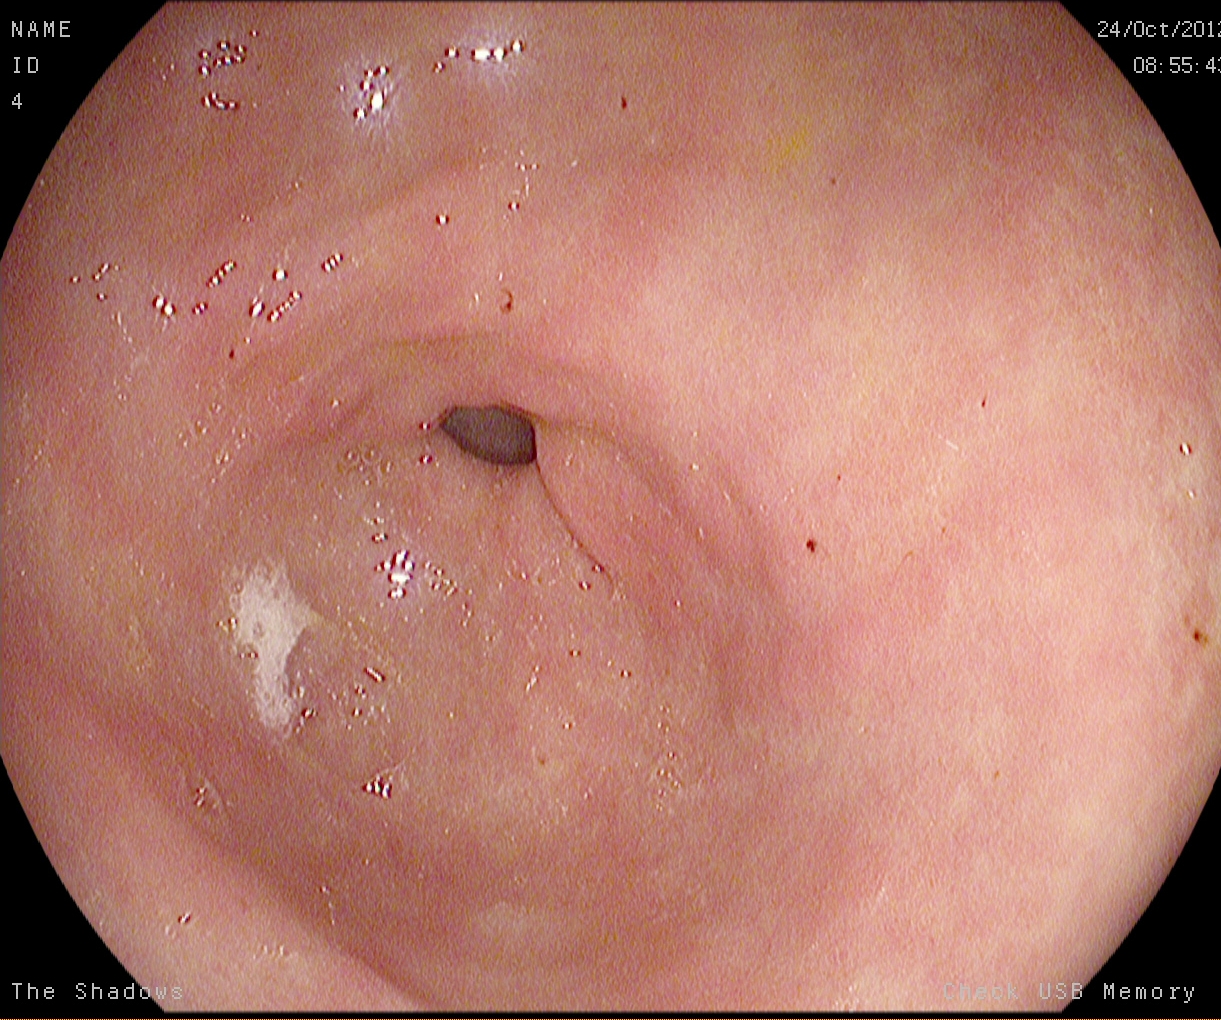PROCEDURE: Gastroscopy.
FINDINGS: Pylorus.